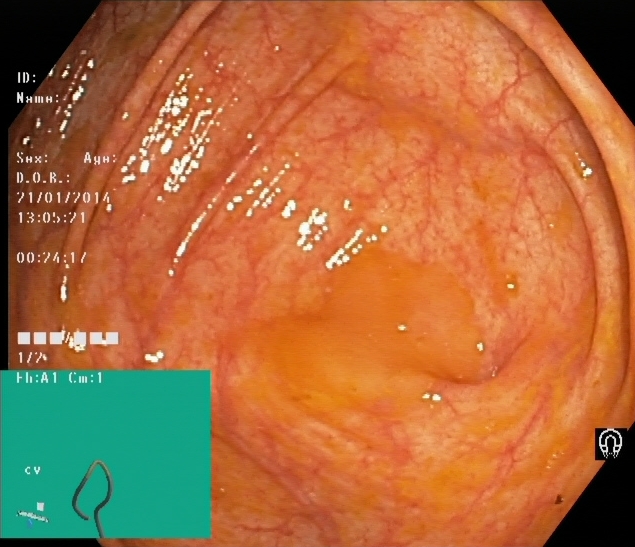modality: colonoscopy
finding: cecum